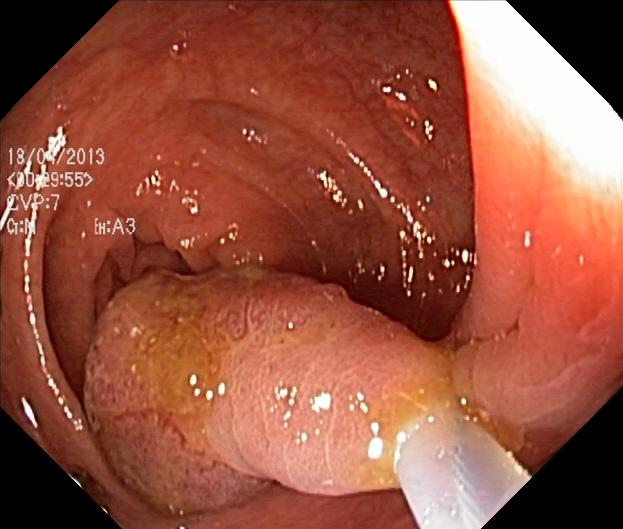Colorectal polyp(s).